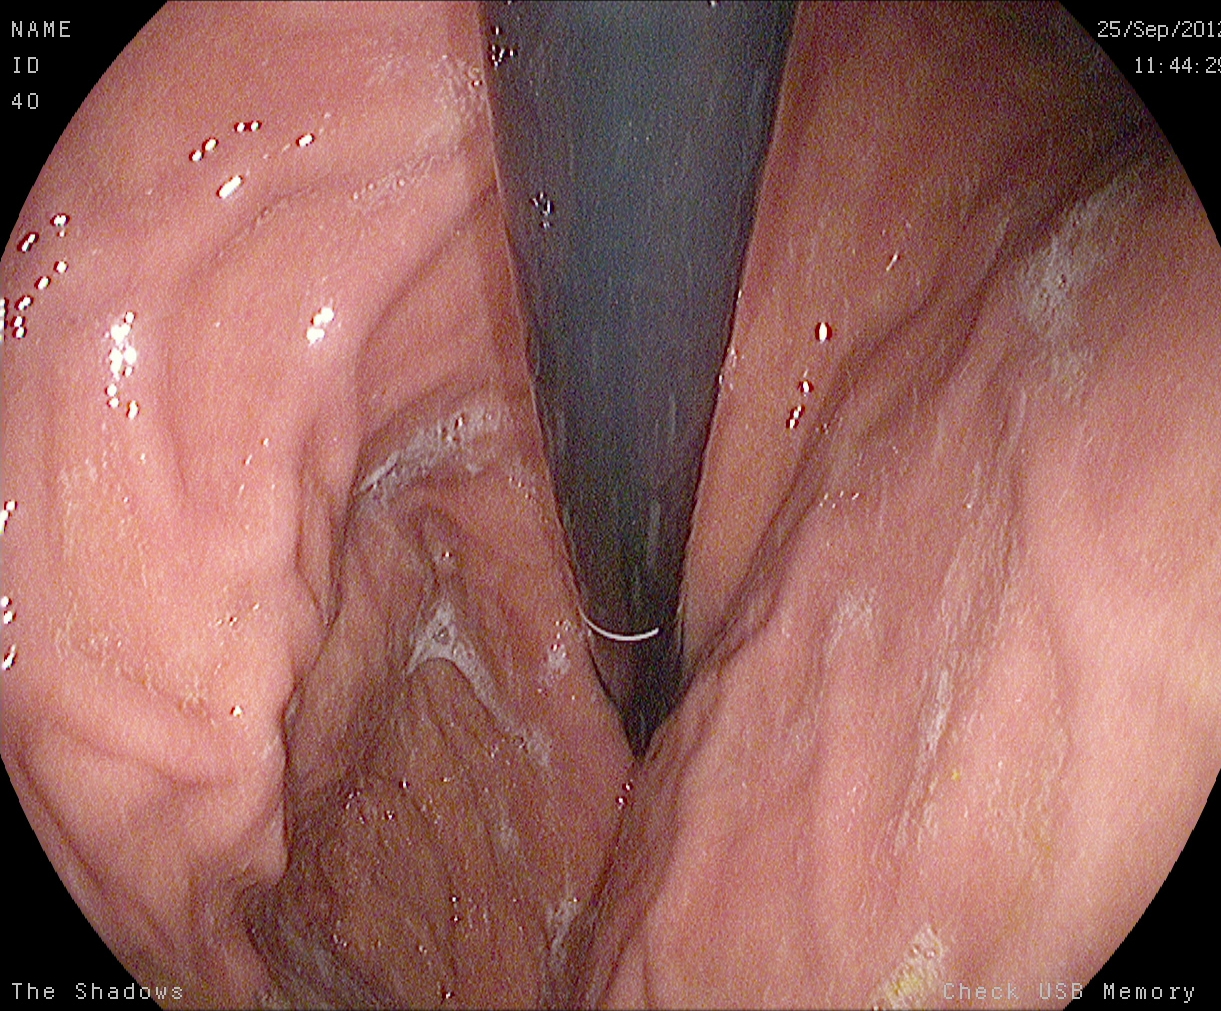GI endoscopy image of the upper GI tract showing stomach in retroflexion.